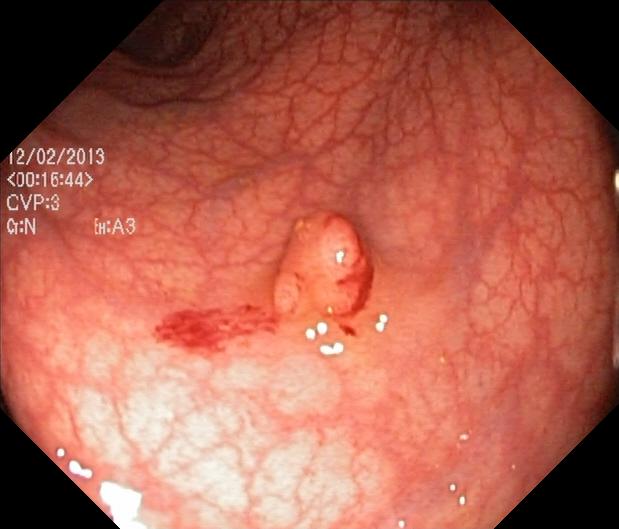This endoscopy frame of the lower GI tract shows colorectal polyp(s).